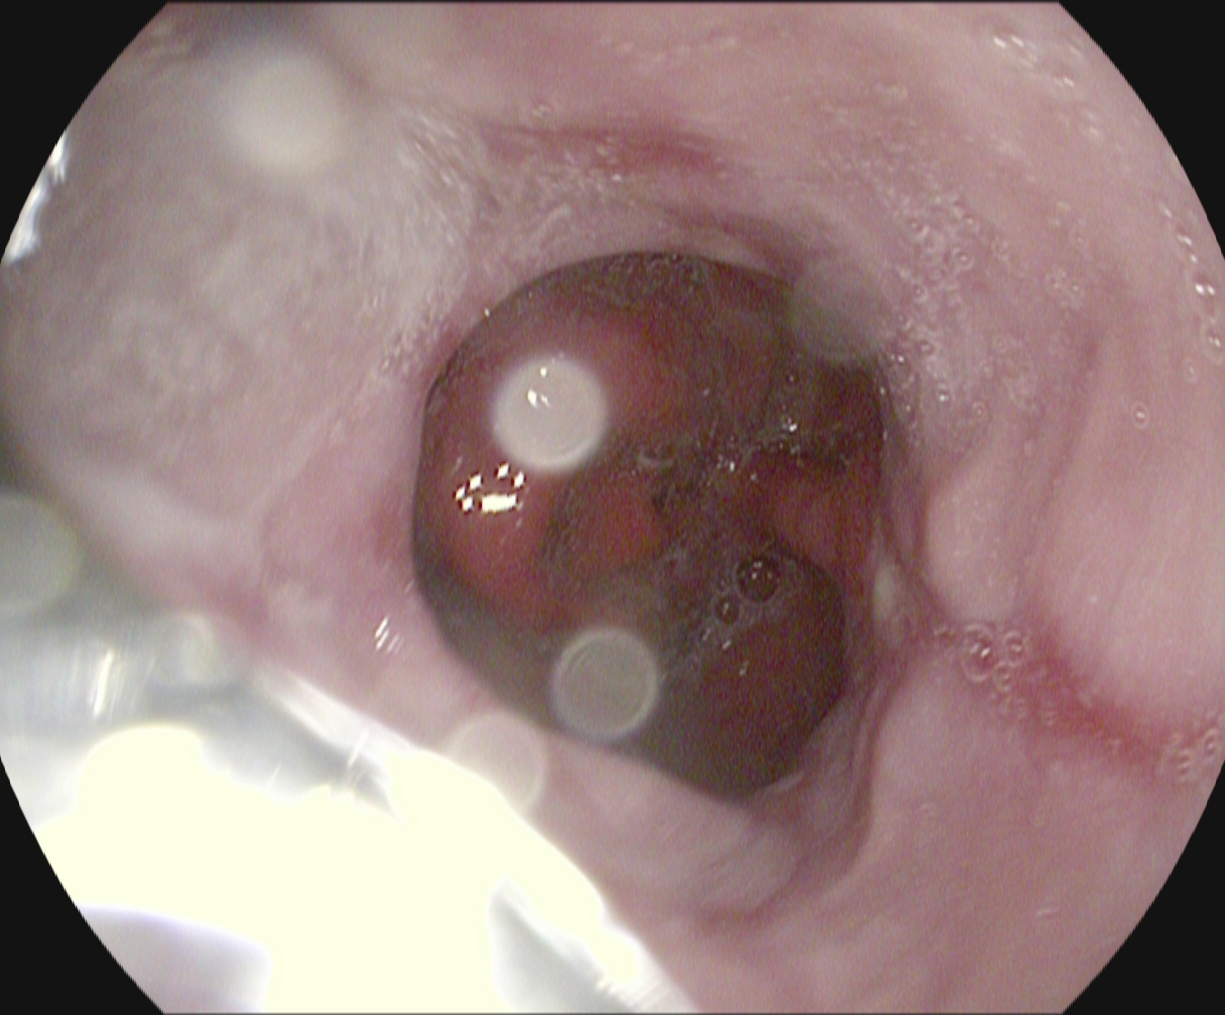This endoscopic image shows reflux esophagitis, Los Angeles grade A.